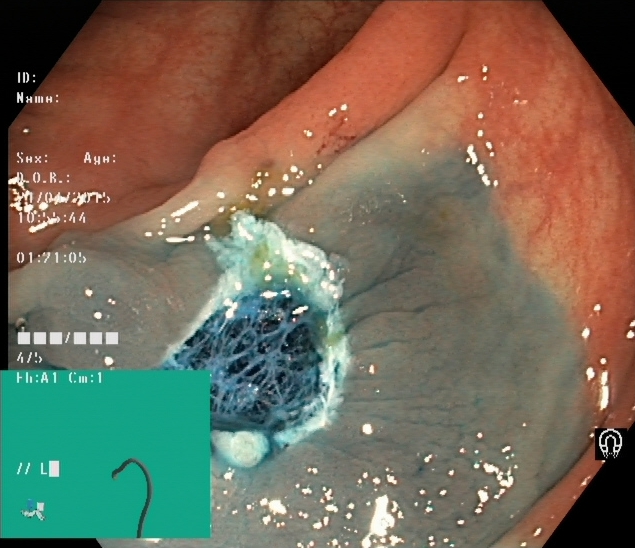modality: lower-GI endoscopy | tract: lower GI tract | finding: dyed resection margins (post-polypectomy)